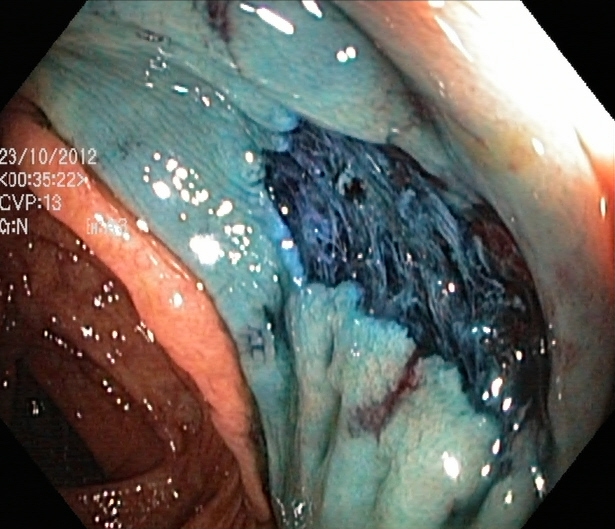modality: colonoscopy
tract: lower GI tract
category: therapeutic intervention
finding: dyed resection margins (post-polypectomy)